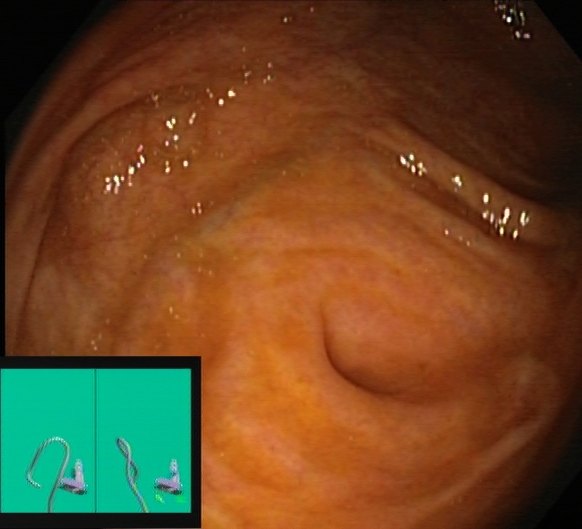GI endoscopy image showing cecum.